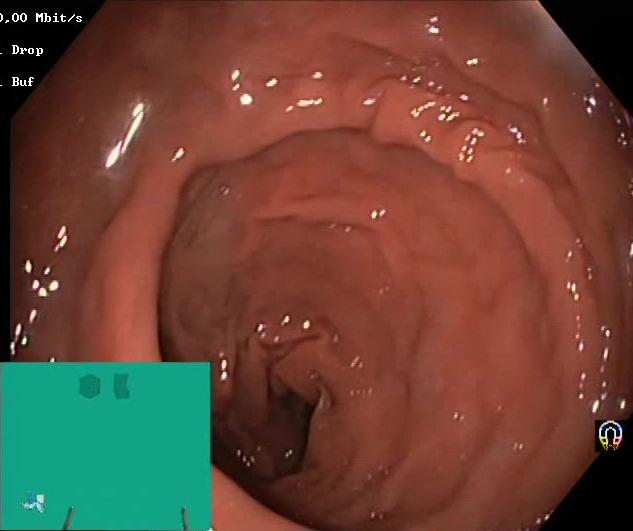GI endoscopy image showing BBPS score 2–3 (adequate preparation).